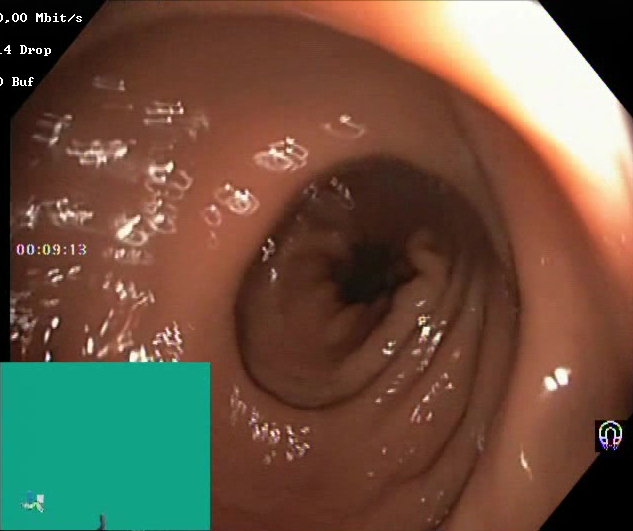Boston Bowel Preparation Scale score 2–3 (adequate preparation).